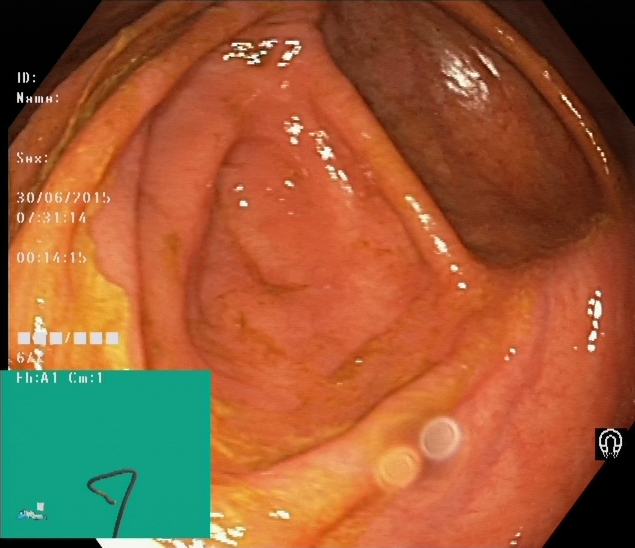Cecum.